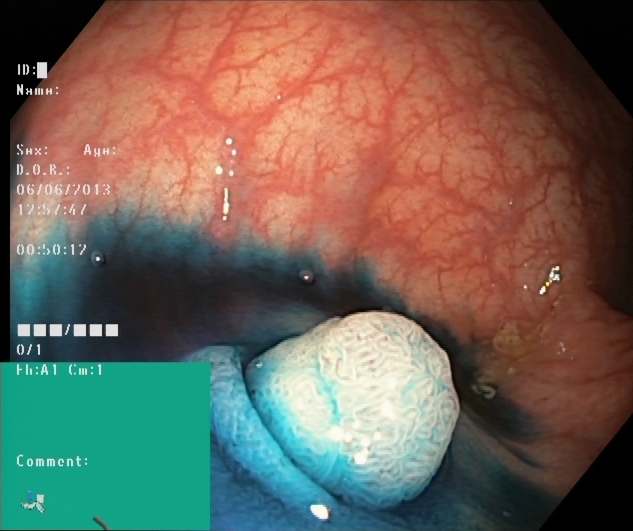Dyed and lifted polyp (pre-resection).